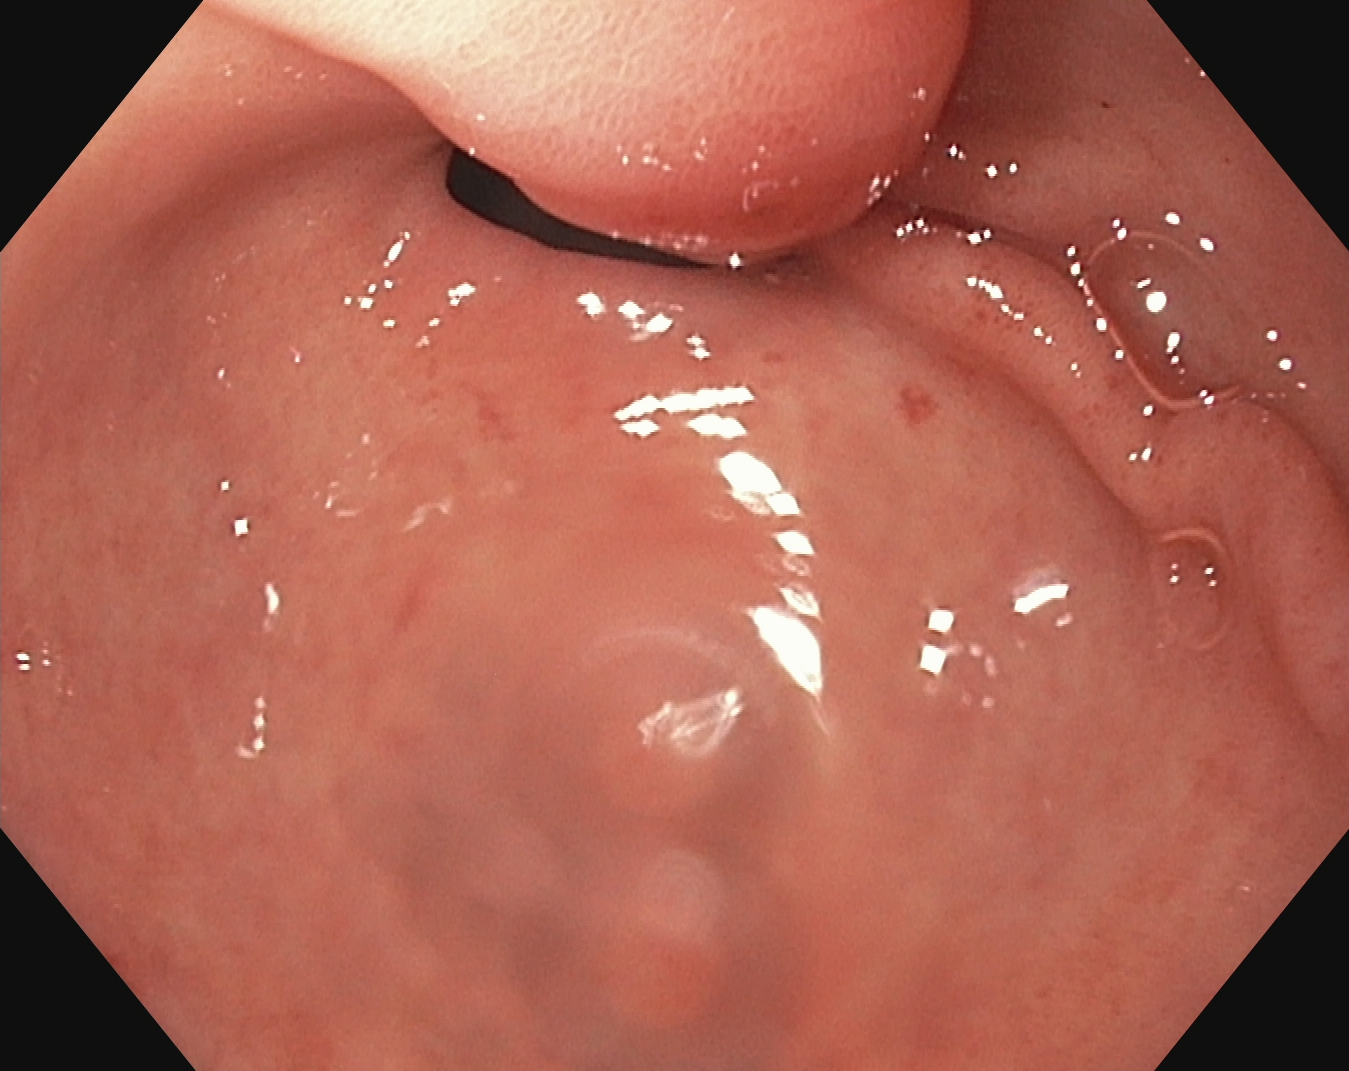Pylorus.